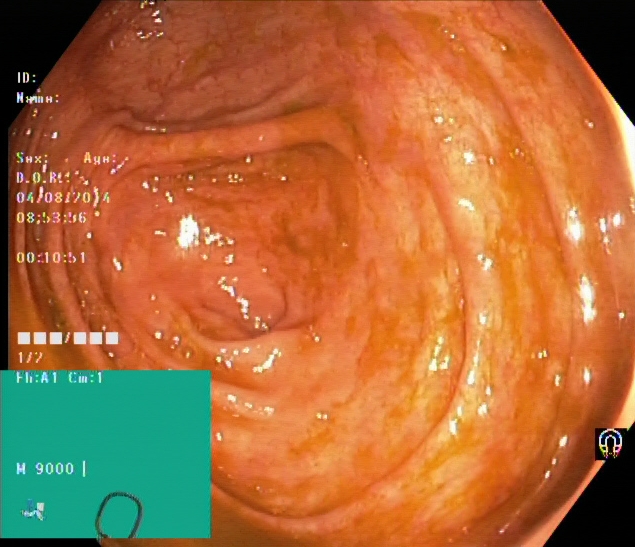Endoscopic frame of the lower GI tract showing cecum.